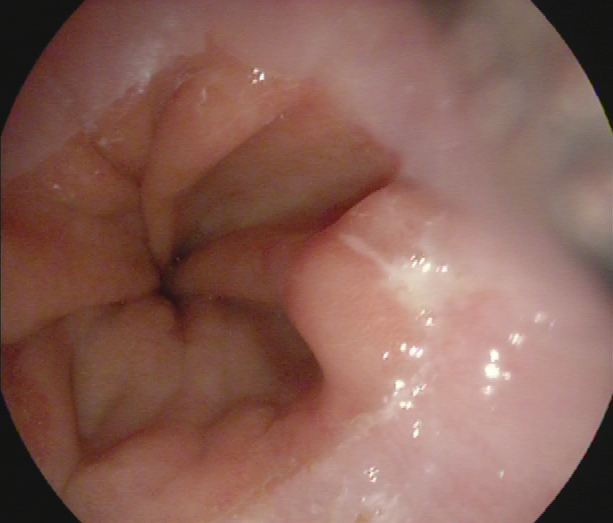EGD image of the upper GI tract showing Z-line (gastroesophageal junction).